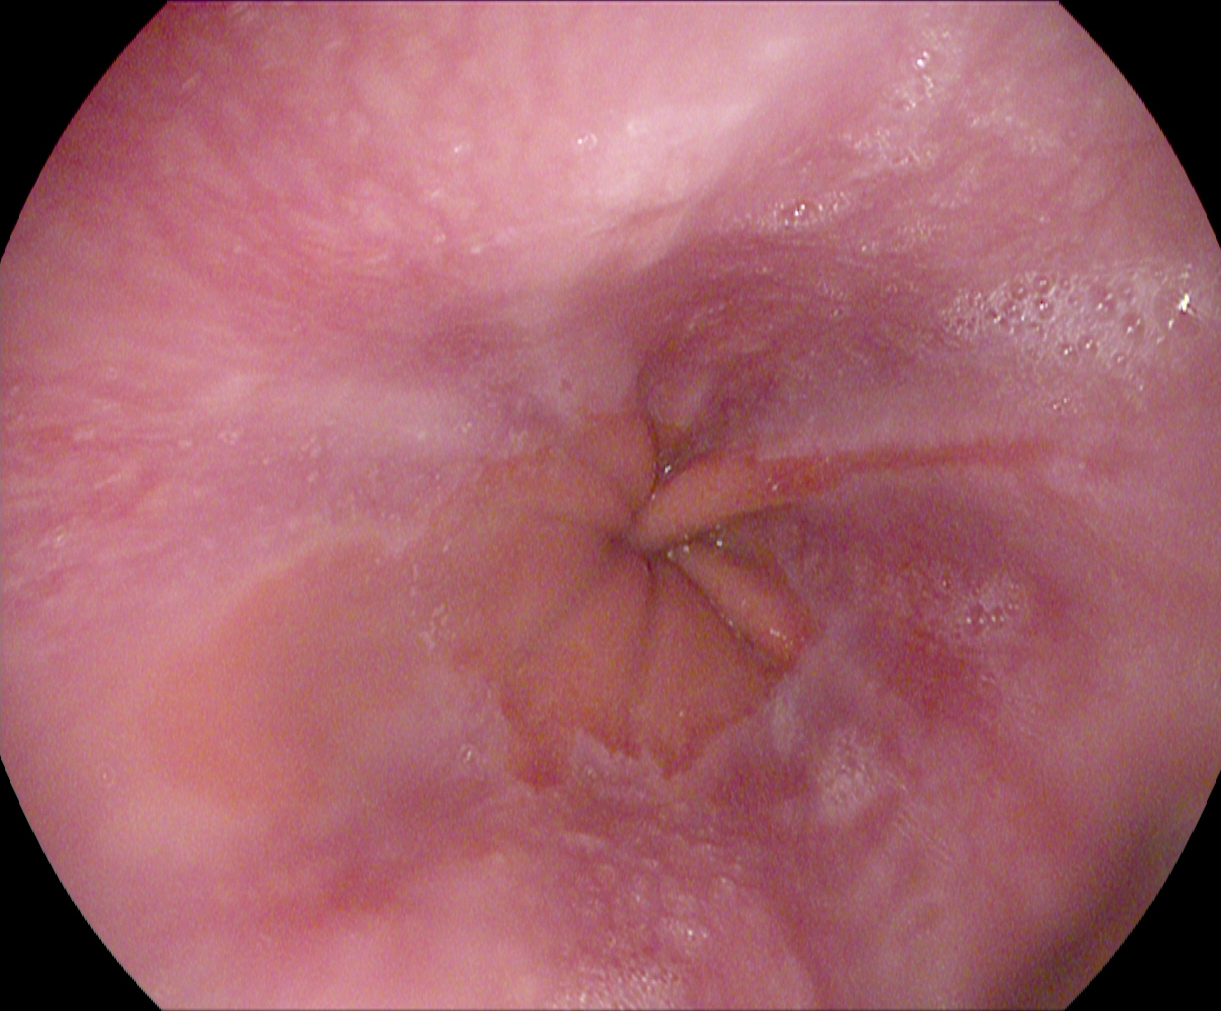Gastroscopy. Finding: reflux esophagitis, LA grade A.